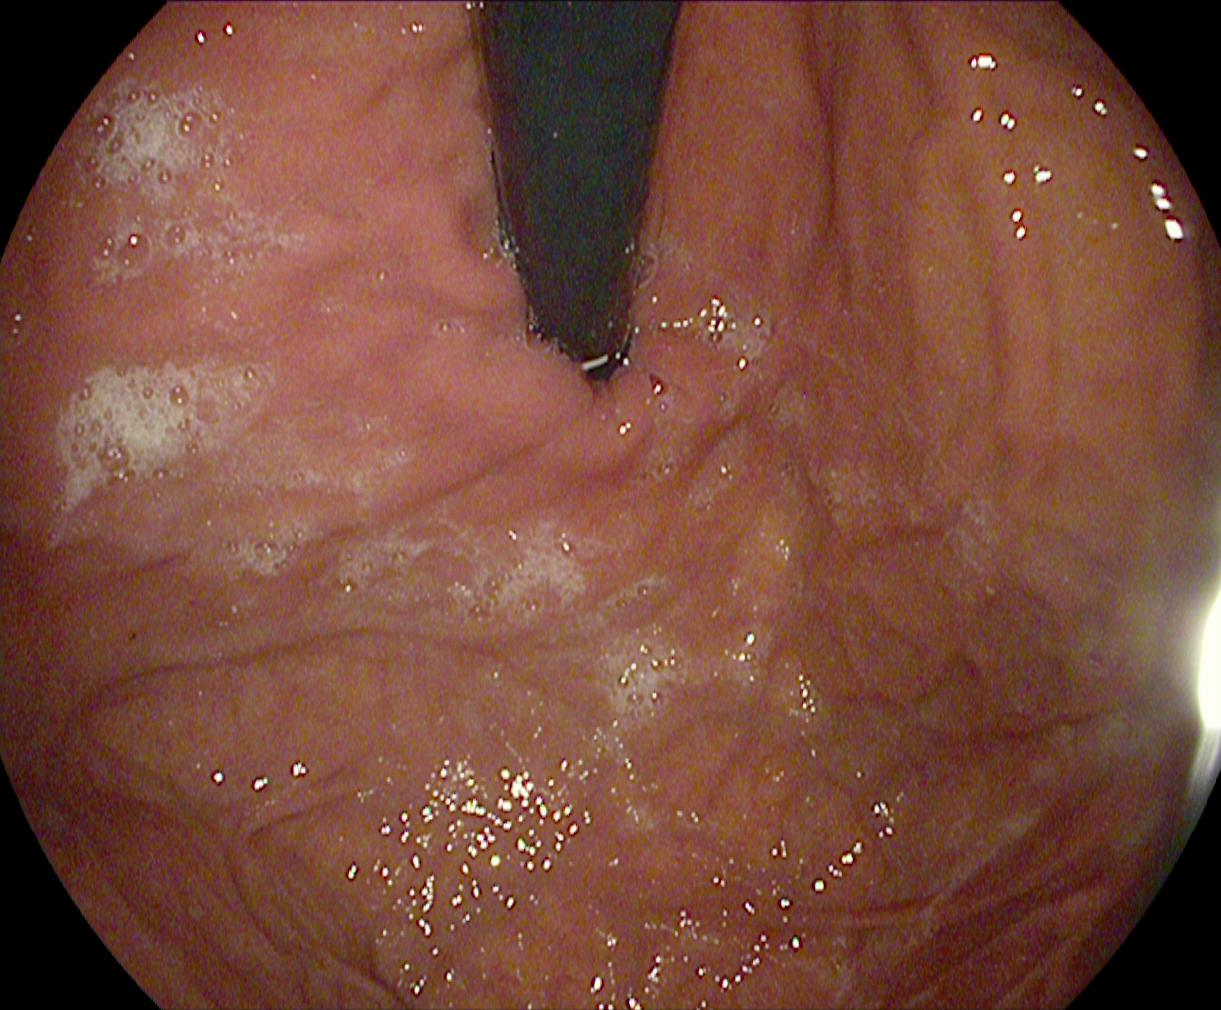PROCEDURE: Upper-GI endoscopy.
CATEGORY: Anatomical landmark.
FINDINGS: Stomach in retroflexion.